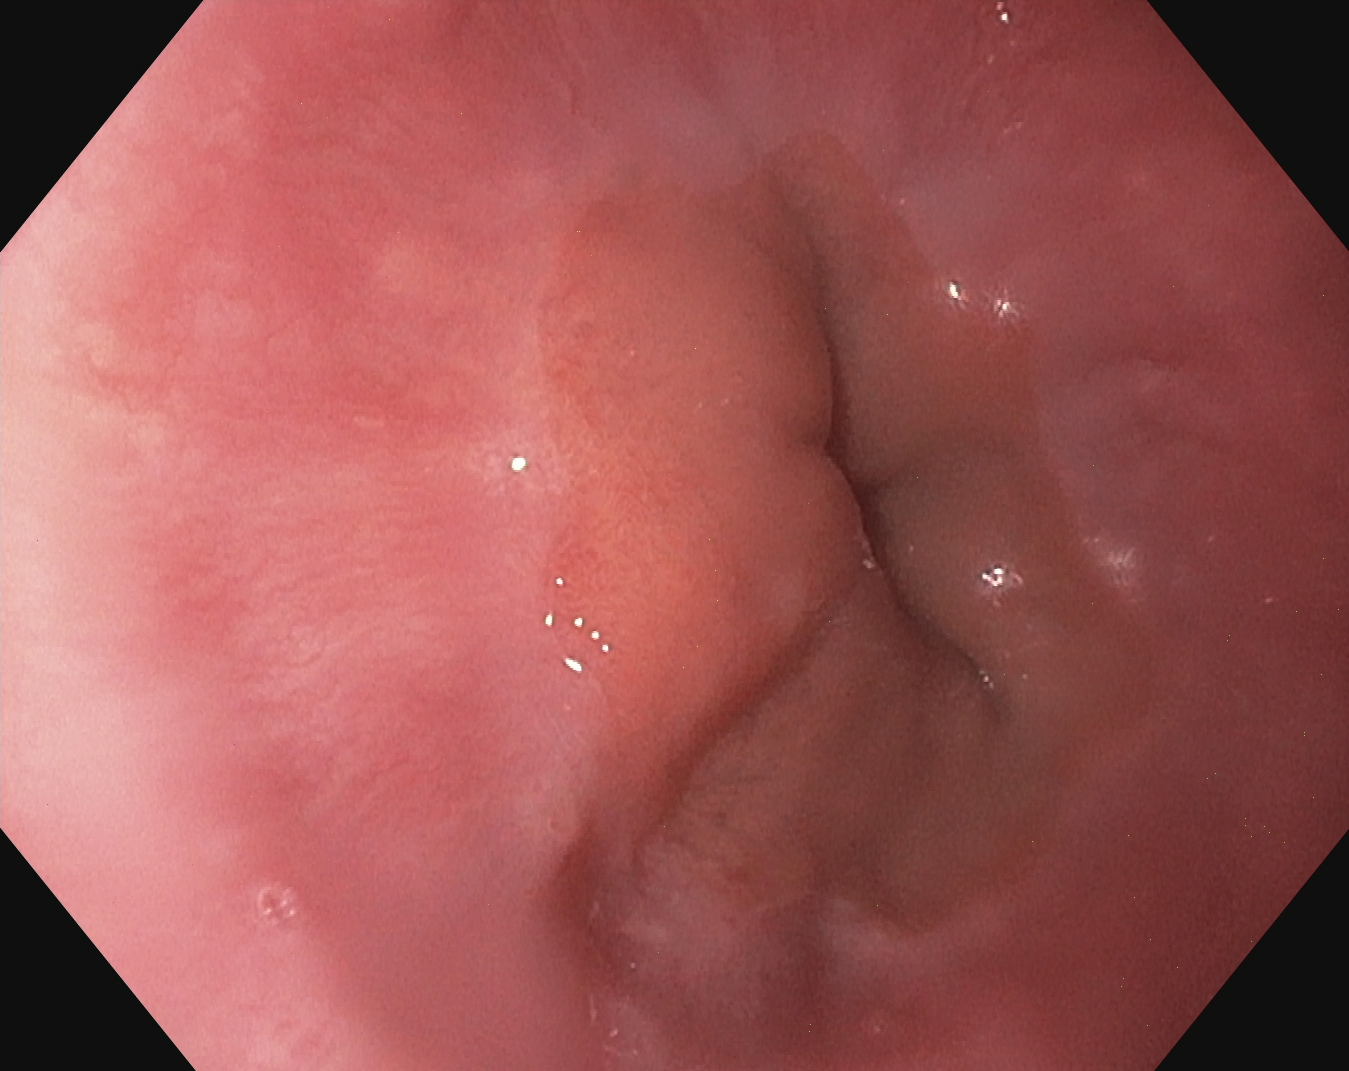{"modality": "esophagogastroduodenoscopy", "tract": "upper GI tract", "category": "anatomical landmark", "finding": "Z-line (gastroesophageal junction)"}